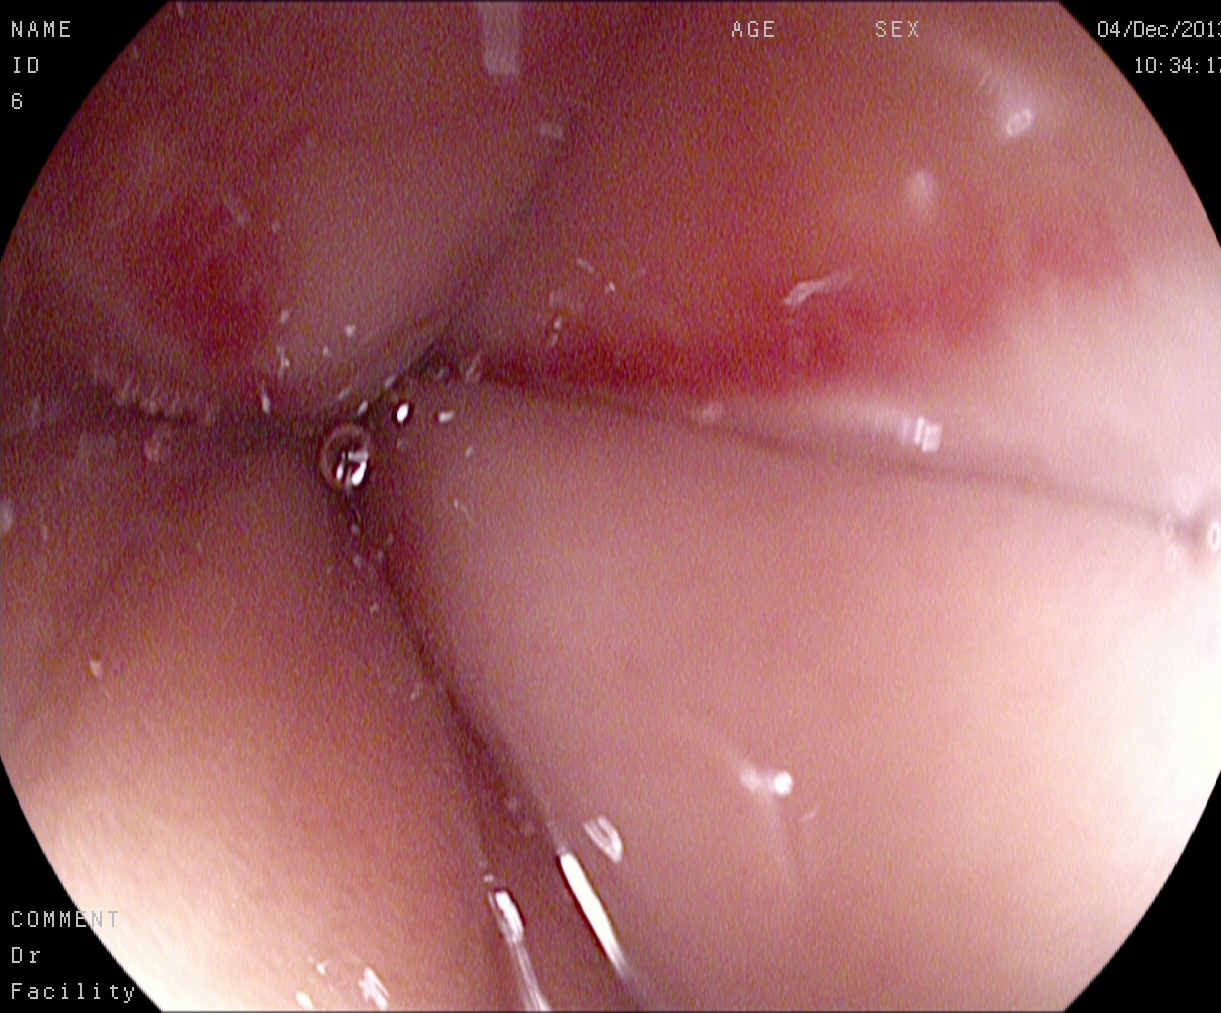PROCEDURE: Gastroscopy.
FINDINGS: Reflux esophagitis, Los Angeles grade A.